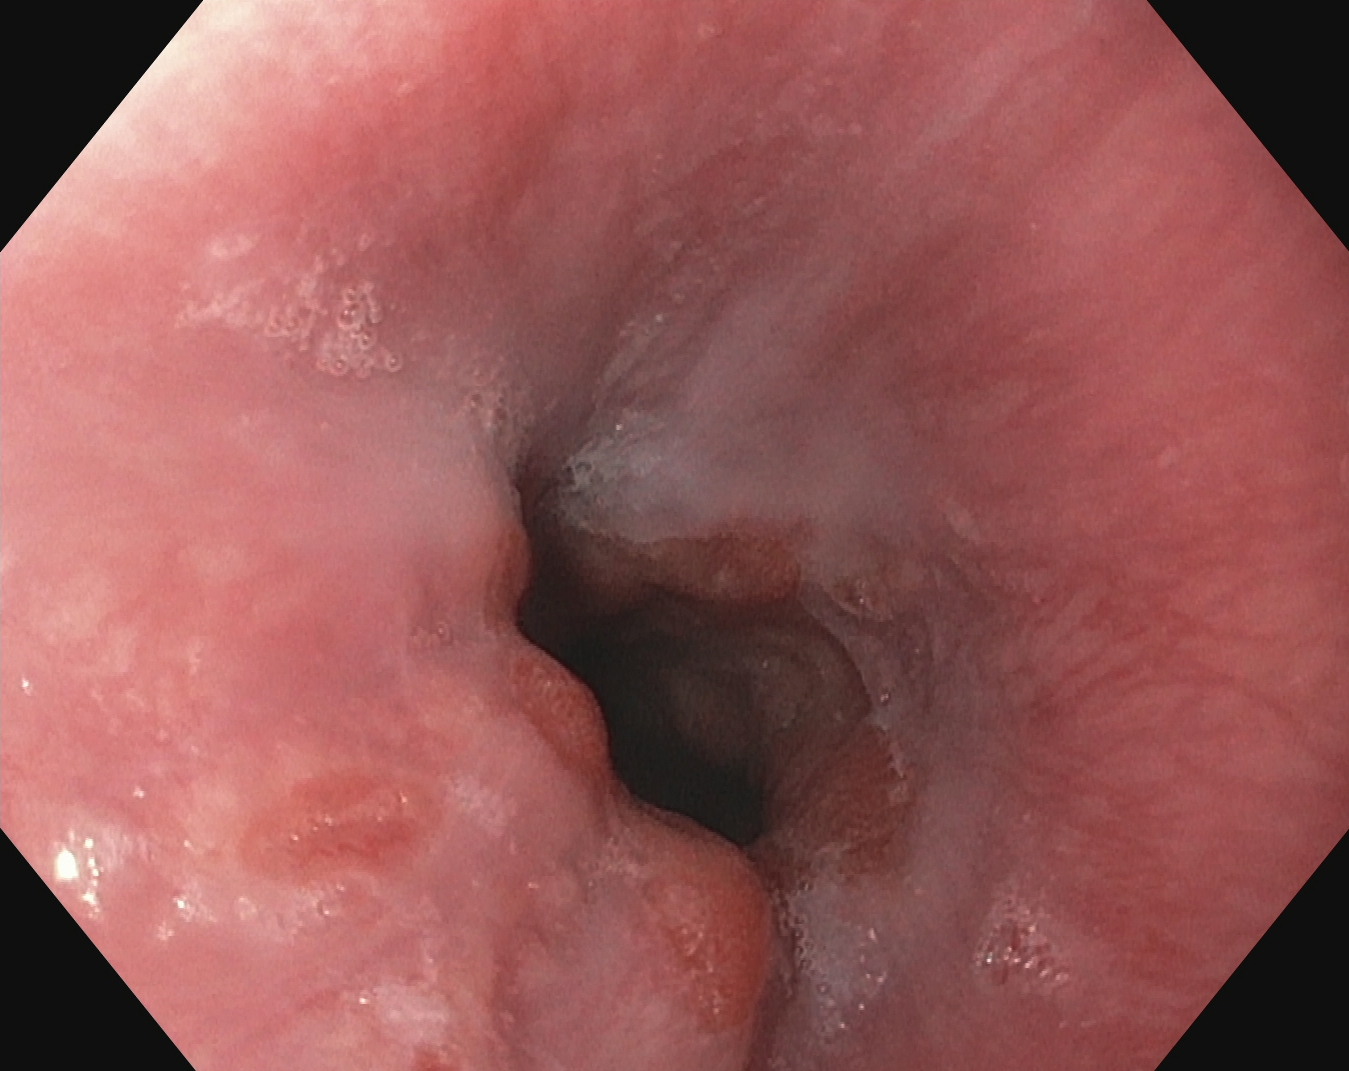Z-line (gastroesophageal junction).